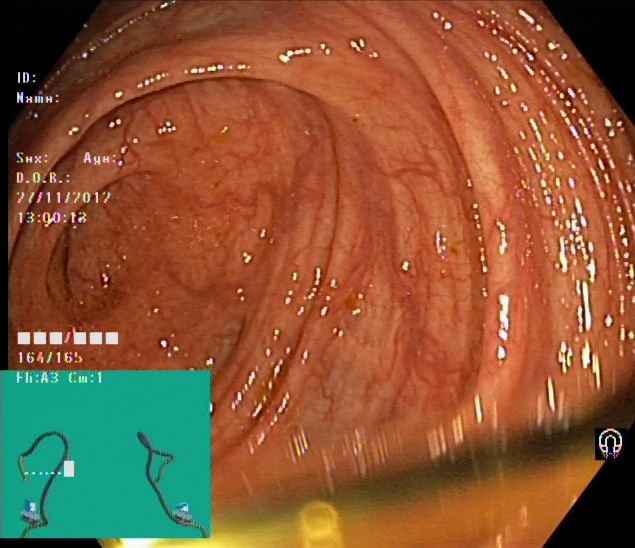PROCEDURE: Lower-GI endoscopy.
FINDINGS: Cecum.